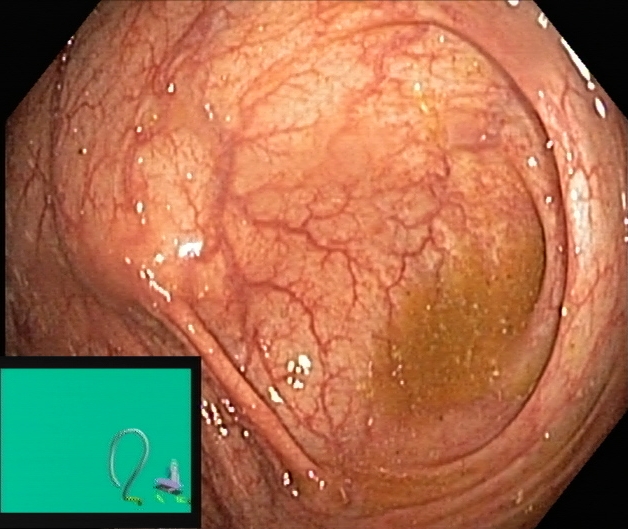Colonoscopy. Tract: lower GI tract. Anatomical landmark. Finding: cecum.